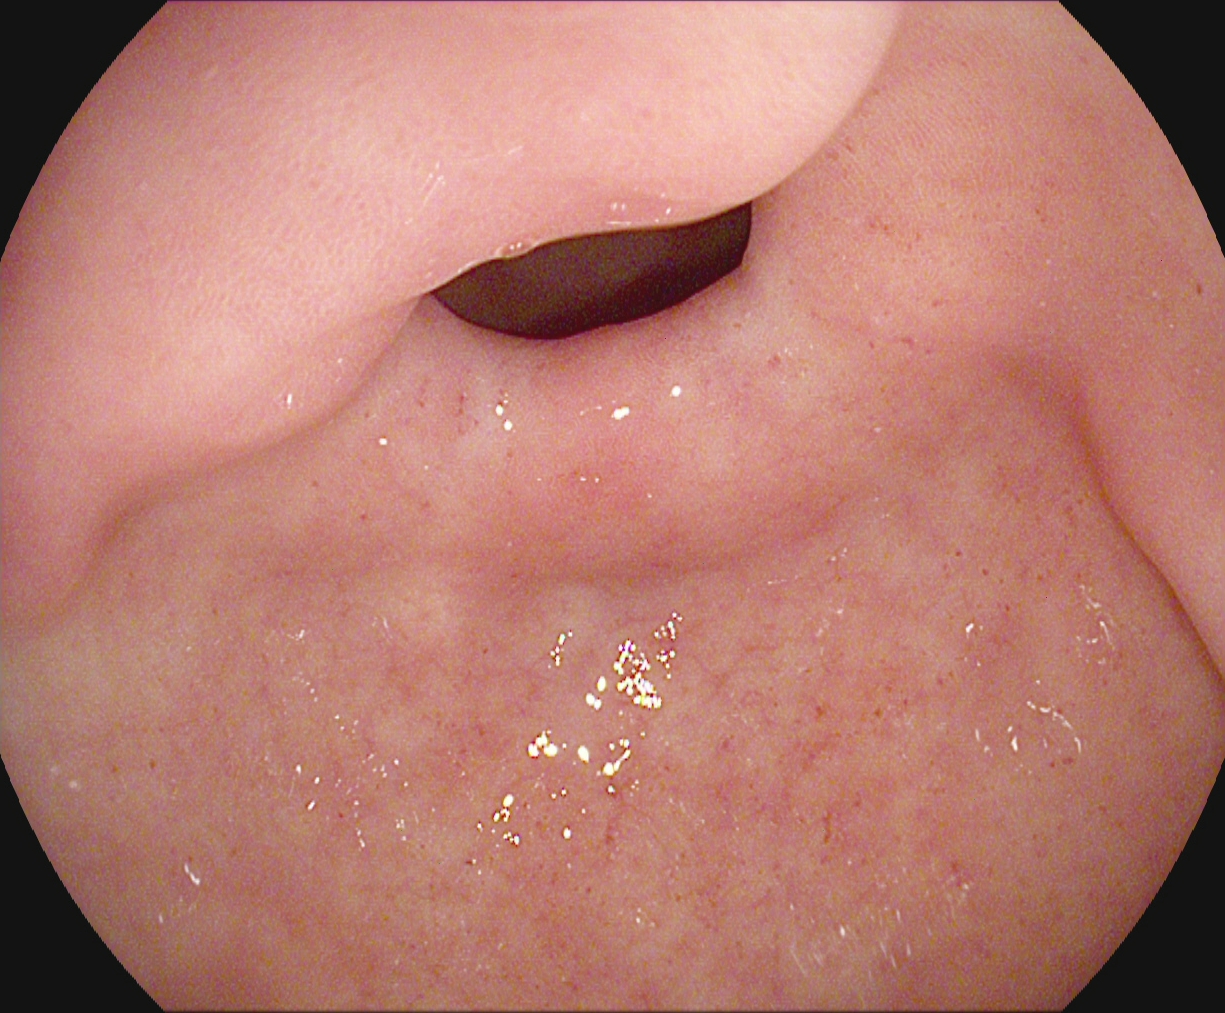{"modality": "gastroscopy", "tract": "upper GI tract", "finding": "pylorus"}